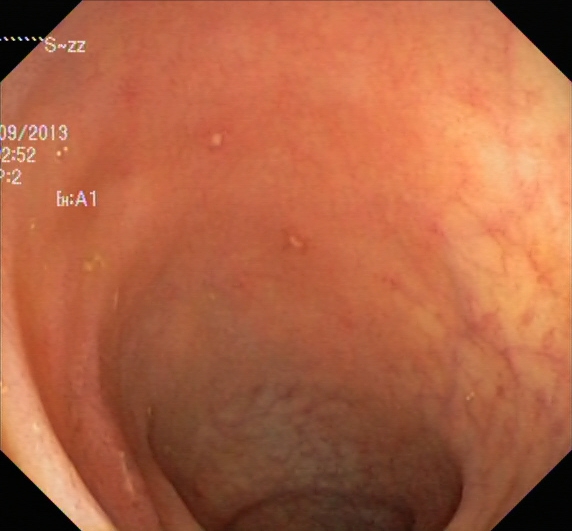This endoscopy frame of the lower GI tract shows ulcerative colitis, Mayo endoscopic subscore 1.